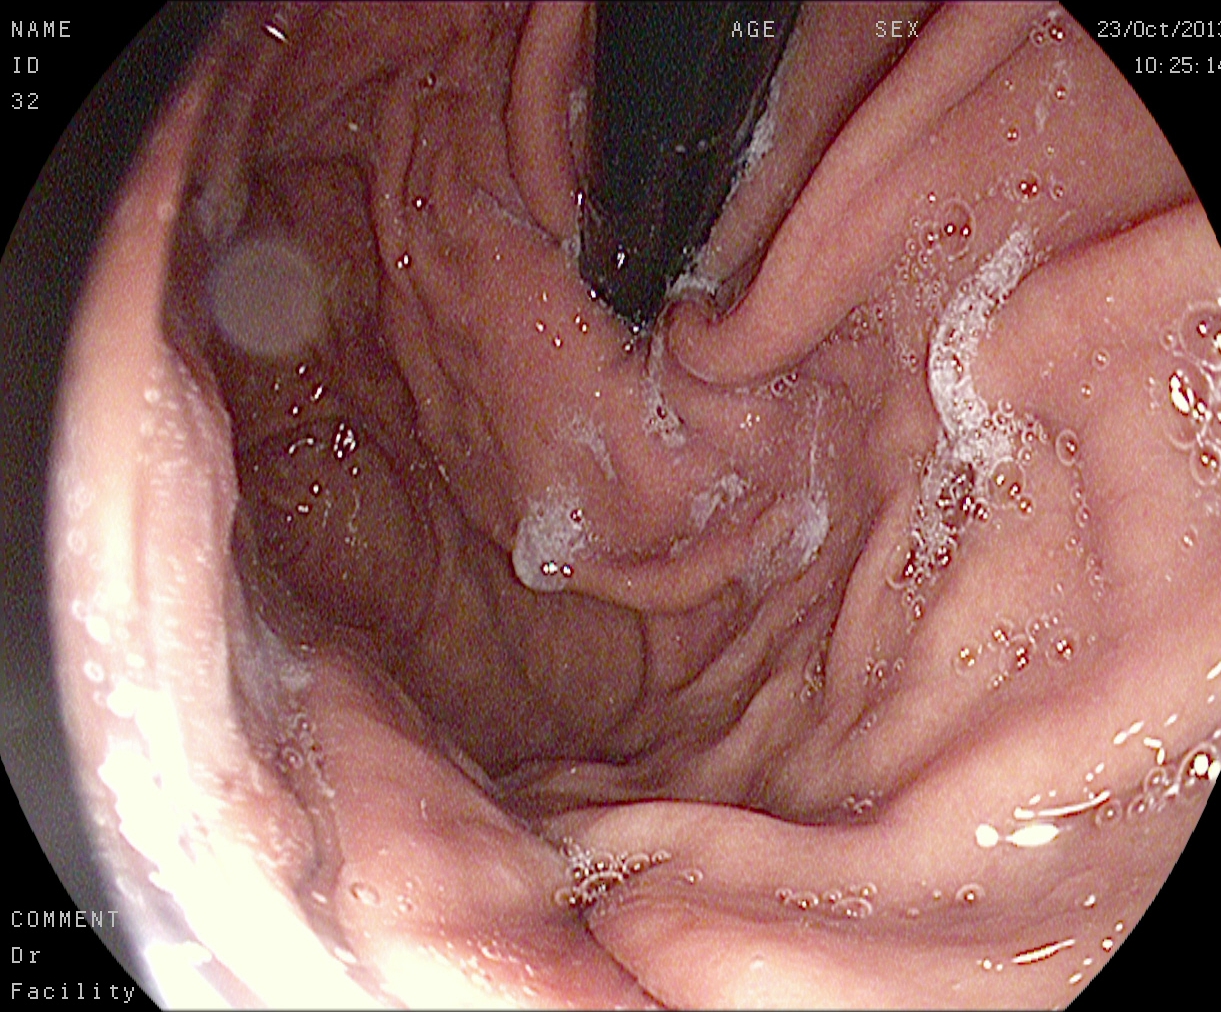PROCEDURE: EGD.
CATEGORY: Anatomical landmark.
FINDINGS: Stomach in retroflexion.